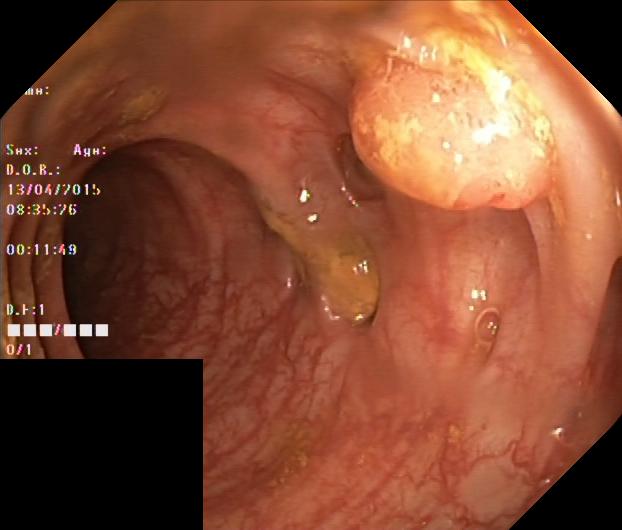colorectal polyp(s).